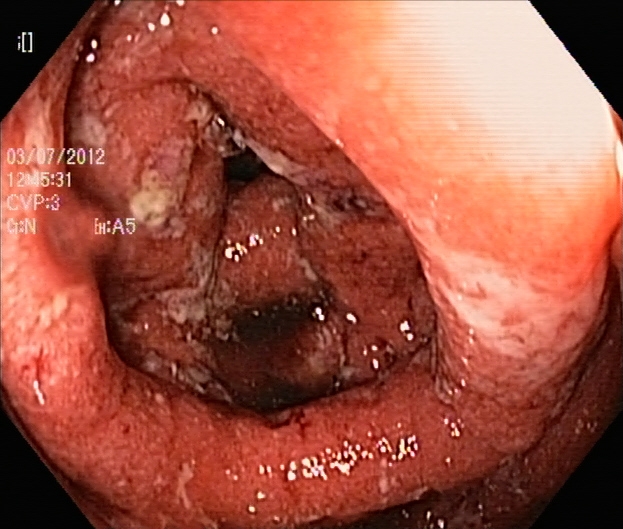Colonoscopy — ulcerative colitis, Mayo endoscopic subscore 3.